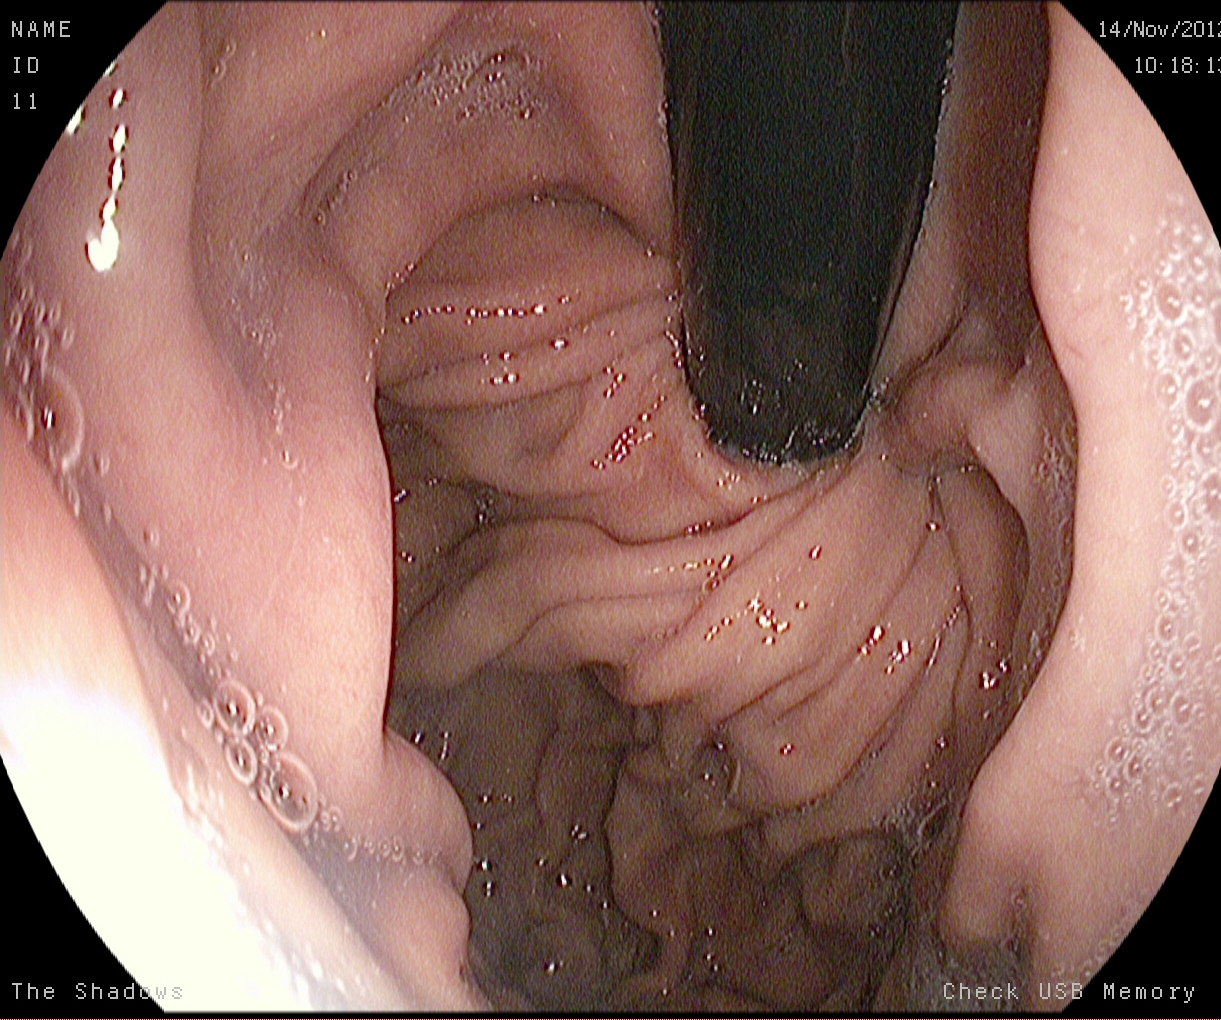Stomach in retroflexion.